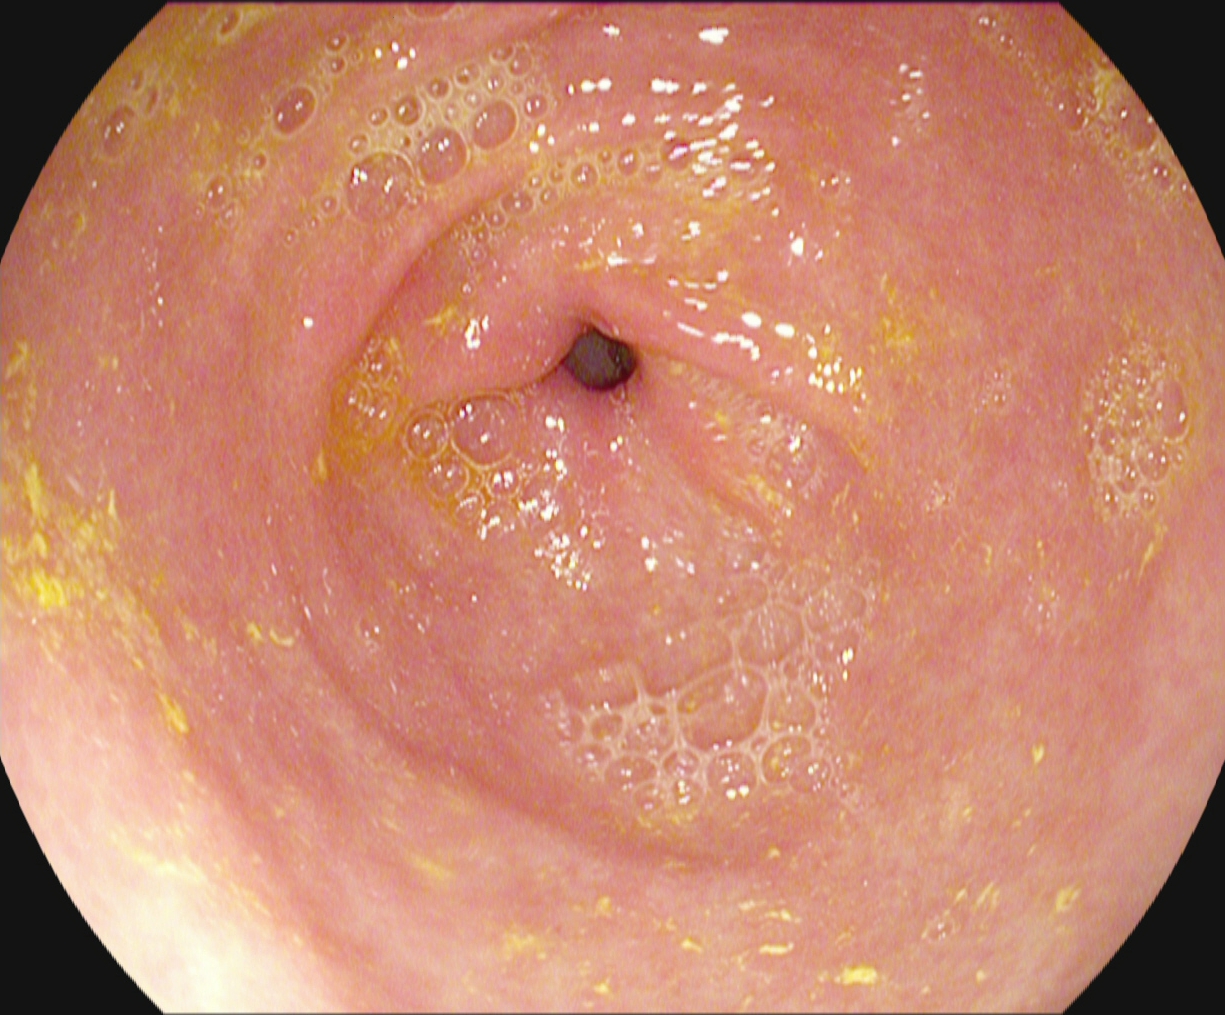PROCEDURE: EGD.
FINDINGS: Pylorus.